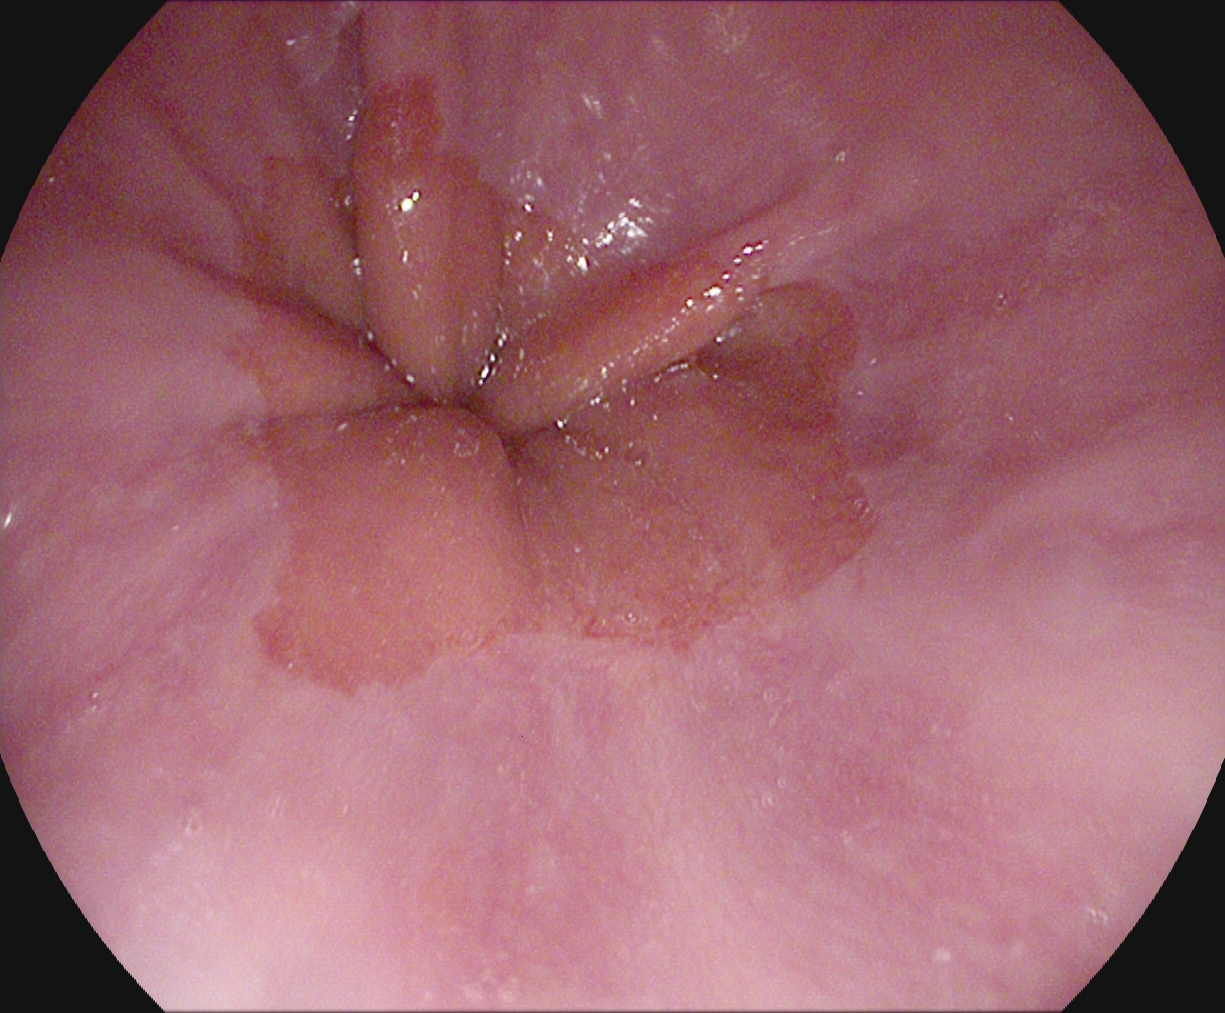{"modality": "esophagogastroduodenoscopy", "tract": "upper GI tract", "finding": "Z-line (gastroesophageal junction)"}